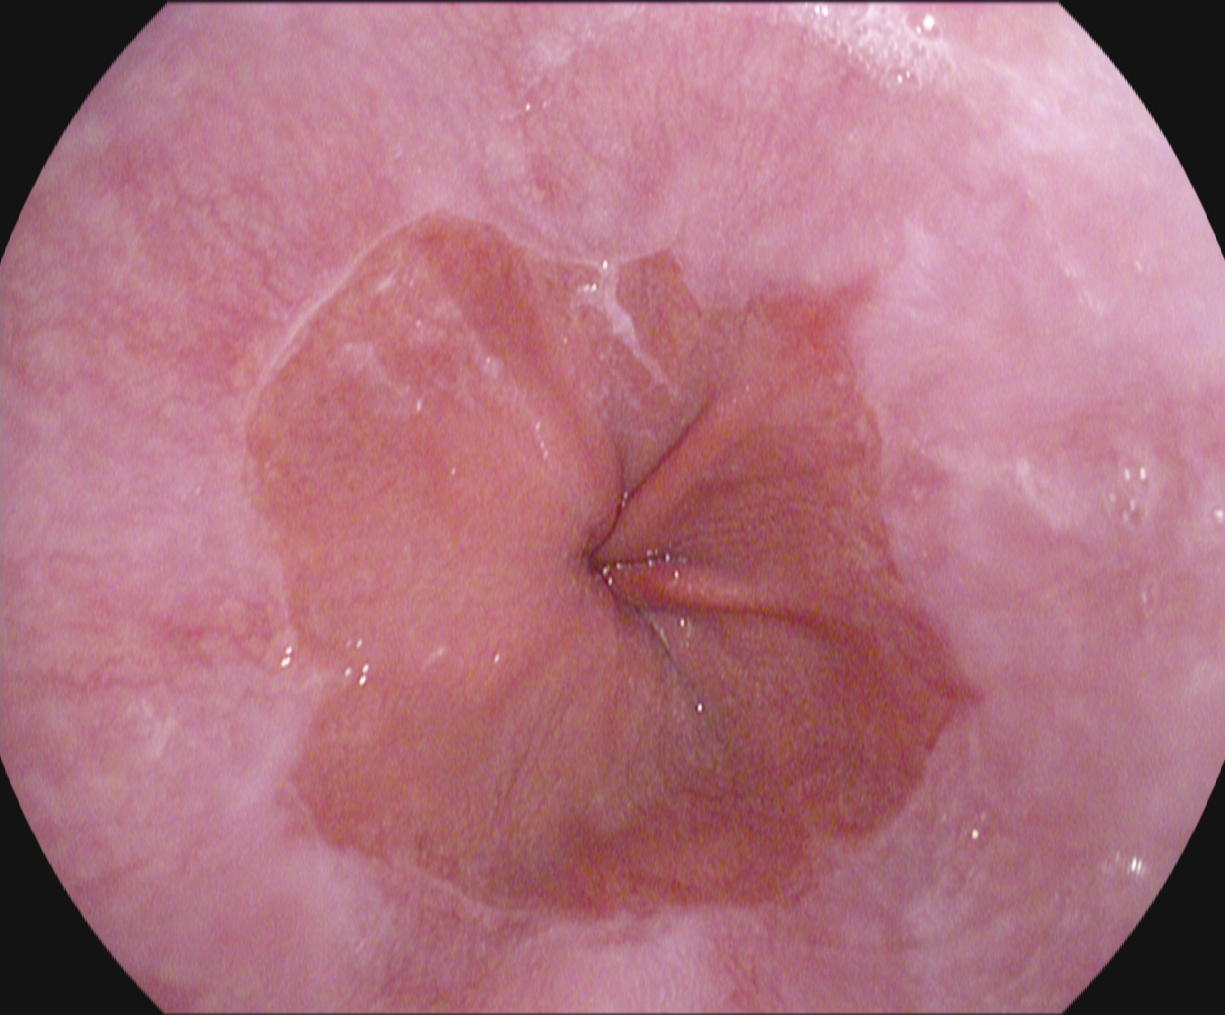Gastroscopy. Tract: upper GI tract. Finding: reflux esophagitis, LA grade A.